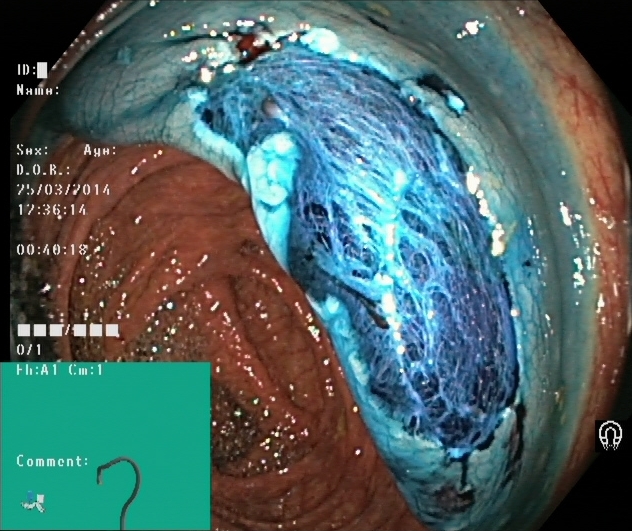This endoscopic image of the lower GI tract shows dyed resection margins (post-polypectomy).